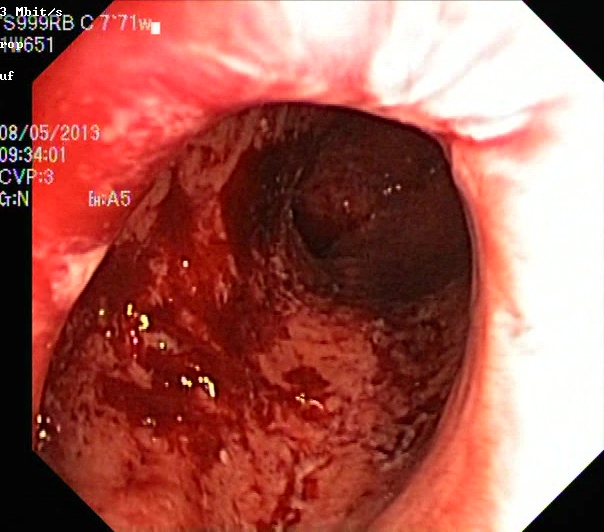ulcerative colitis, Mayo endoscopic subscore 3.